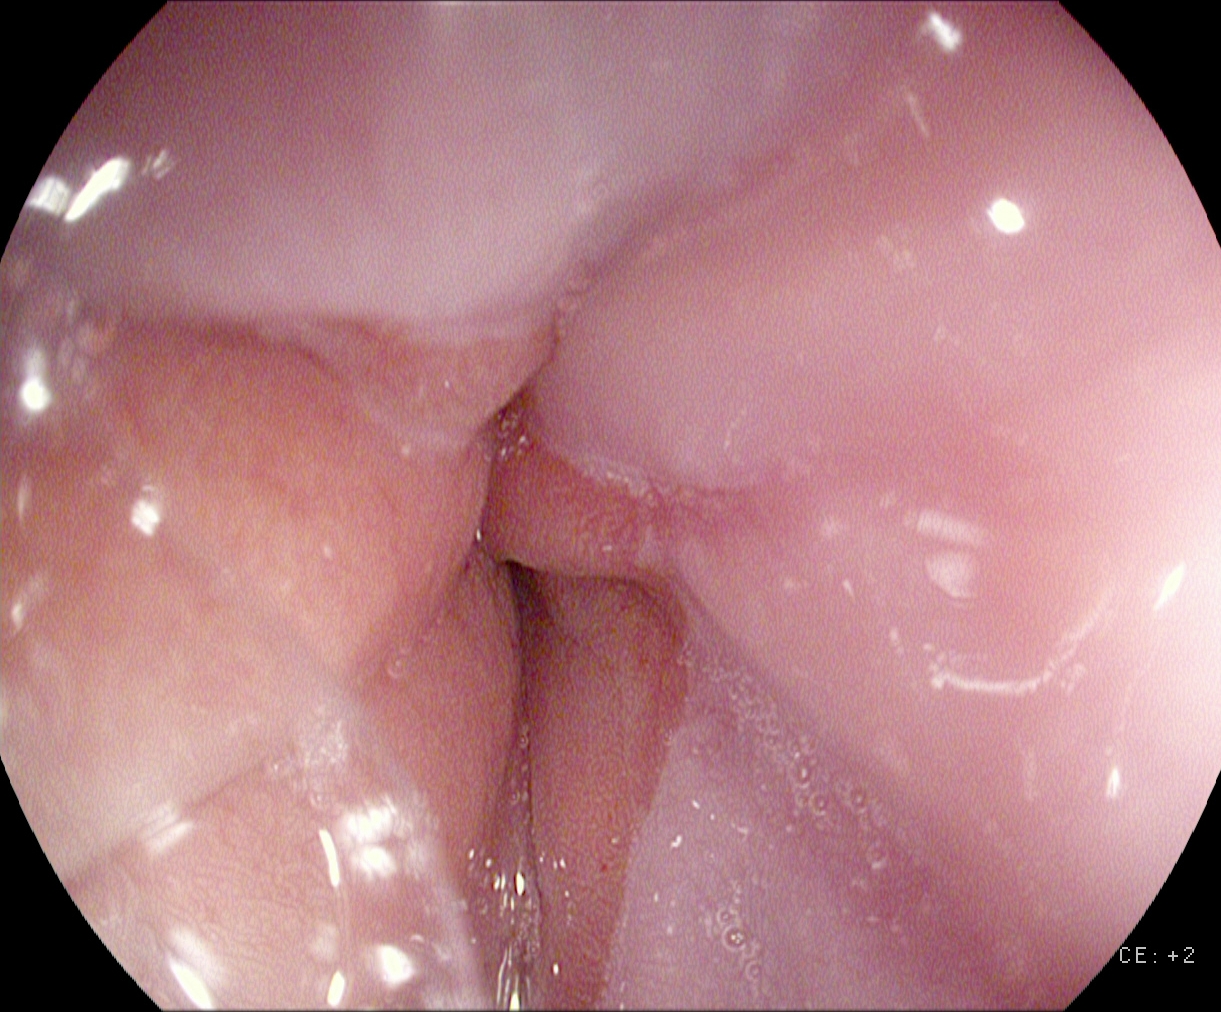EGD. Tract: upper GI tract. Finding: Z-line (gastroesophageal junction).